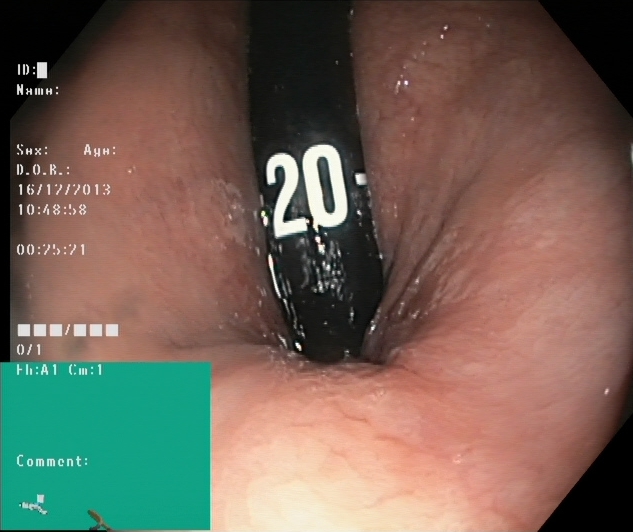Lower gastrointestinal endoscopy — rectum in retroflexion.